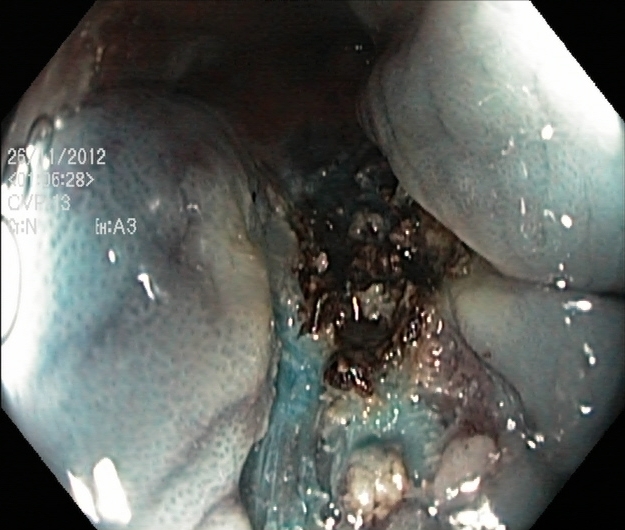PROCEDURE: Colonoscopy.
CATEGORY: Therapeutic intervention.
FINDINGS: Dyed resection margins (post-polypectomy).